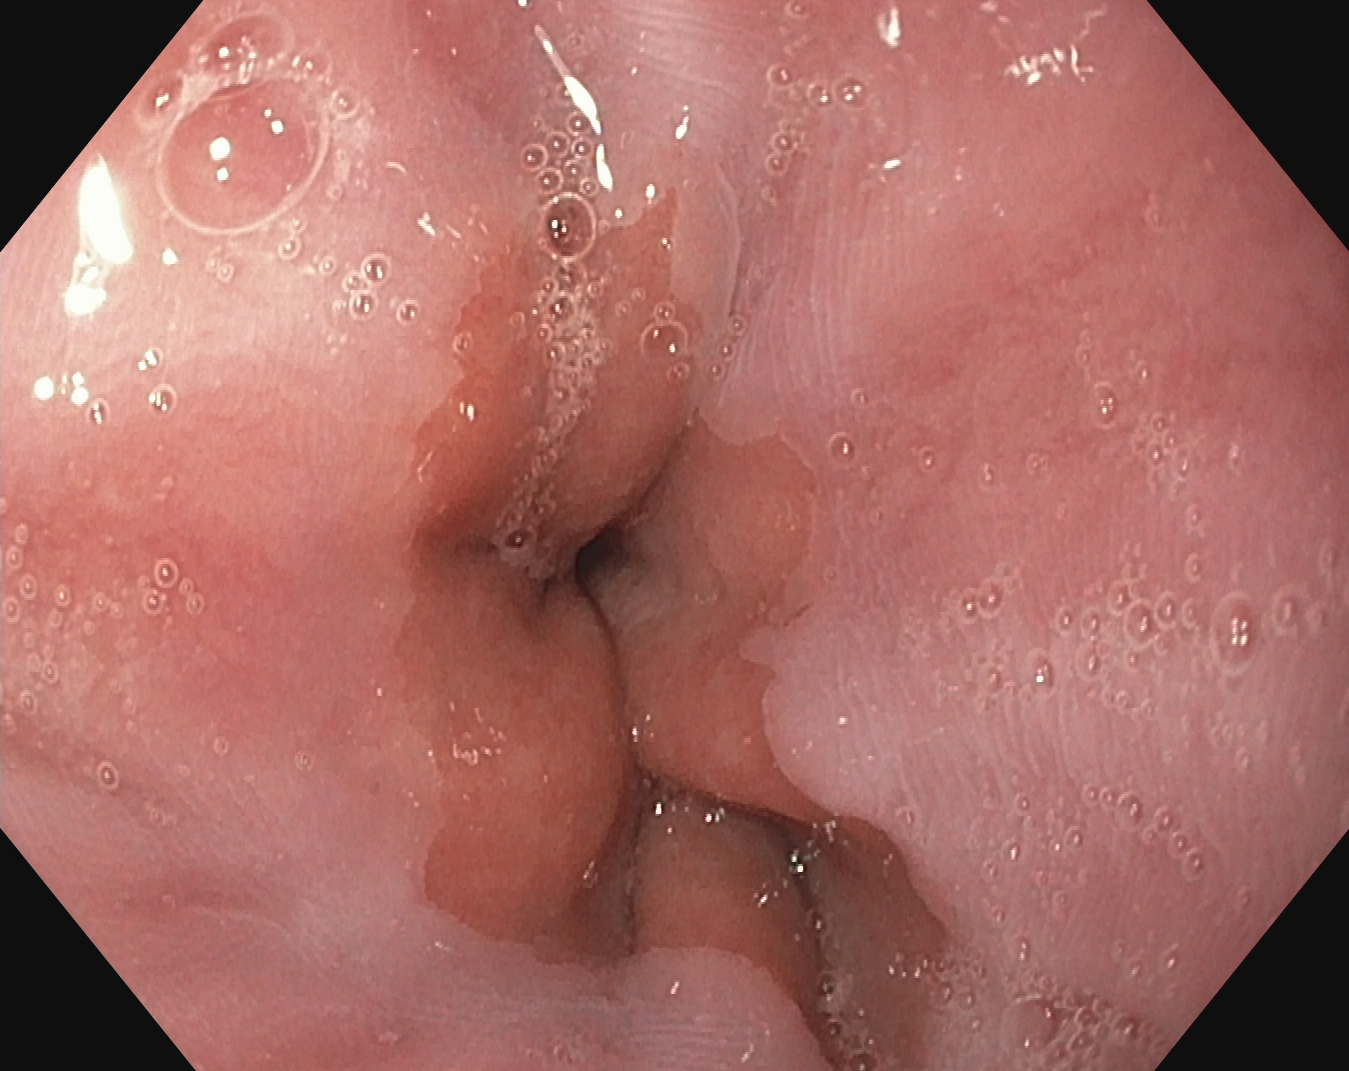Z-line (gastroesophageal junction).